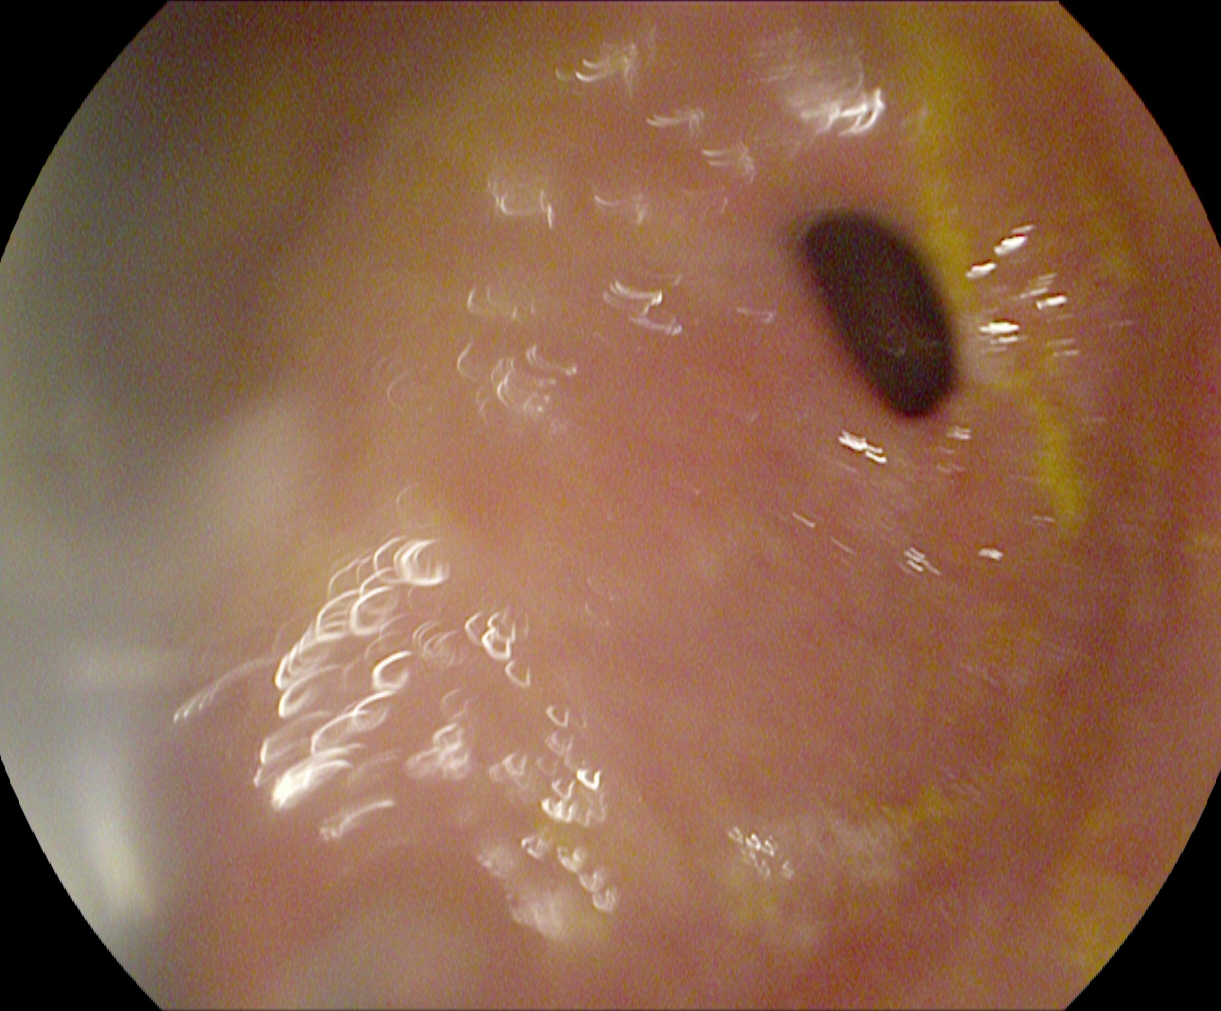This endoscopy frame shows pylorus.